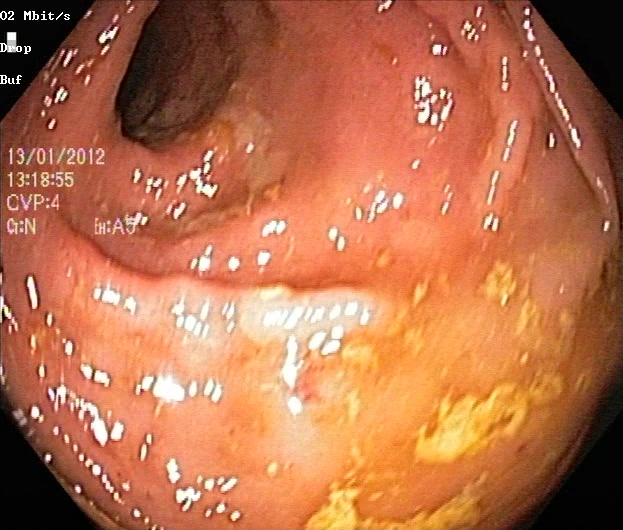Colonoscopy — ulcerative colitis, Mayo endoscopic subscore 2.